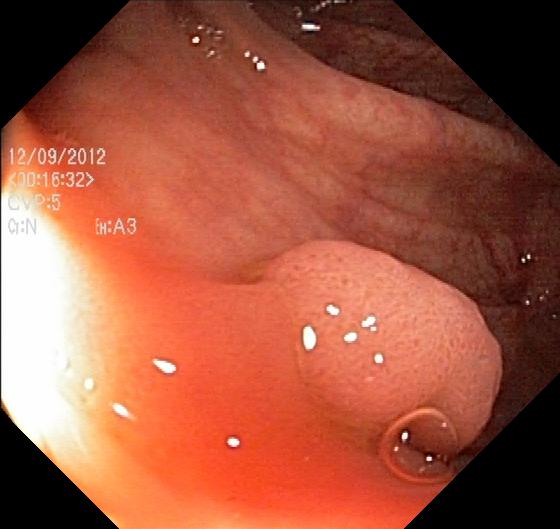{"modality": "colonoscopy", "tract": "lower GI tract", "category": "pathological finding", "finding": "colorectal polyp(s)"}